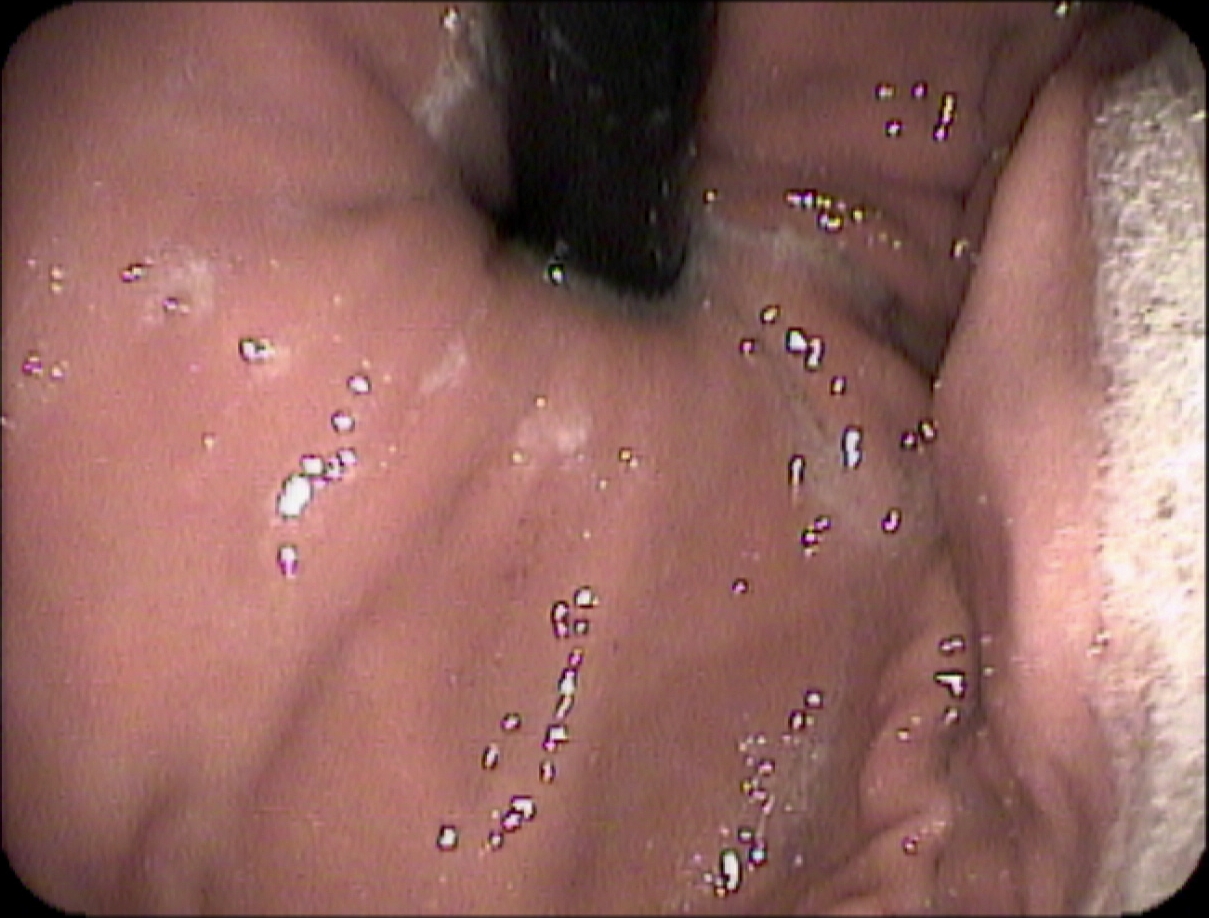modality: gastroscopy
finding: stomach in retroflexion